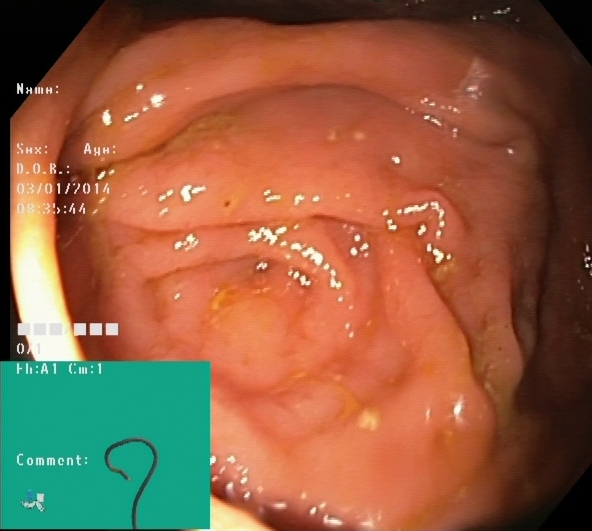{"modality": "lower-GI endoscopy", "tract": "lower GI tract", "finding": "cecum"}